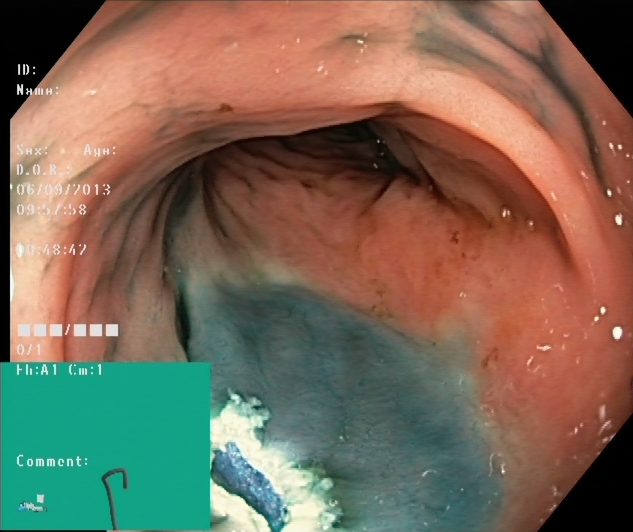Lower-GI endoscopy — dyed resection margins (post-polypectomy).